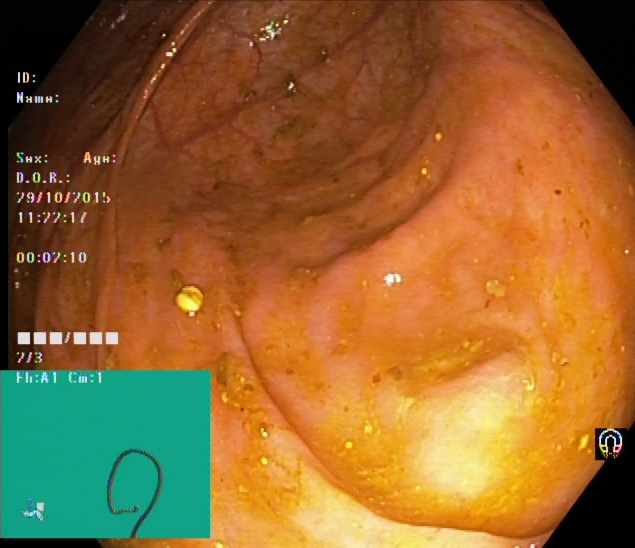Lower-GI endoscopy — cecum.